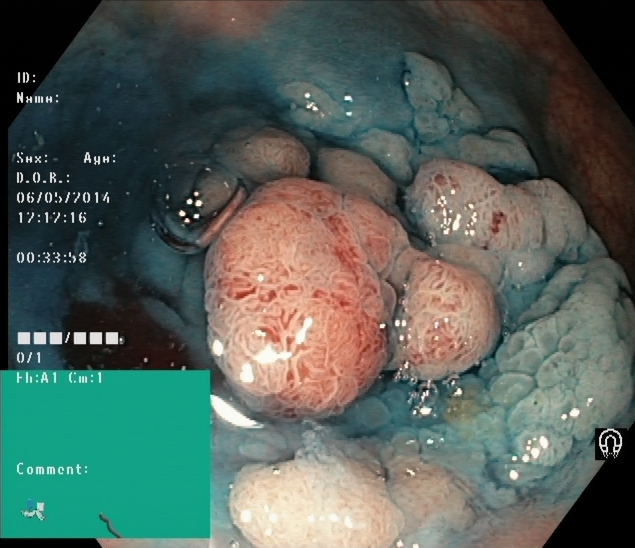{"modality": "lower gastrointestinal endoscopy", "finding": "dyed and lifted polyp (pre-resection)"}